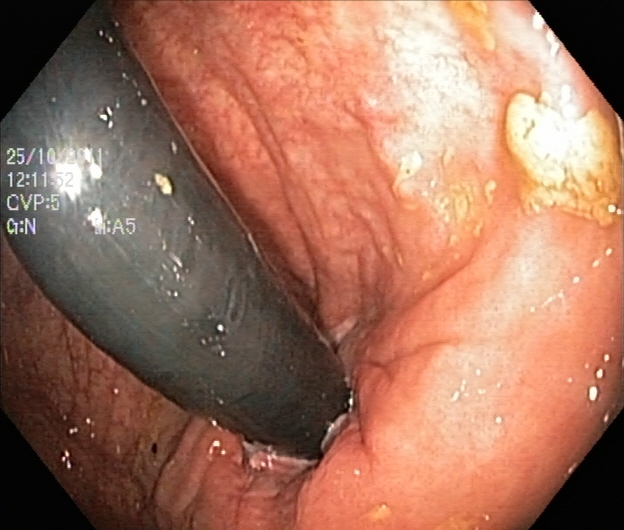PROCEDURE: Lower-GI endoscopy.
CATEGORY: Anatomical landmark.
FINDINGS: Rectum in retroflexion.